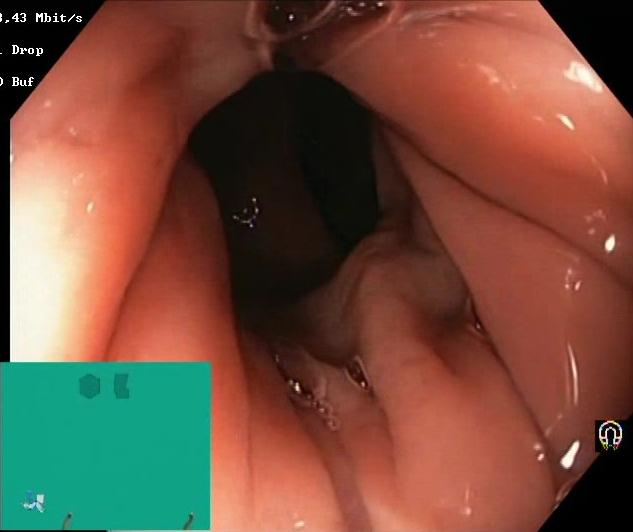modality: lower gastrointestinal endoscopy | category: mucosal-view quality | finding: BBPS score 2–3 (adequate preparation)